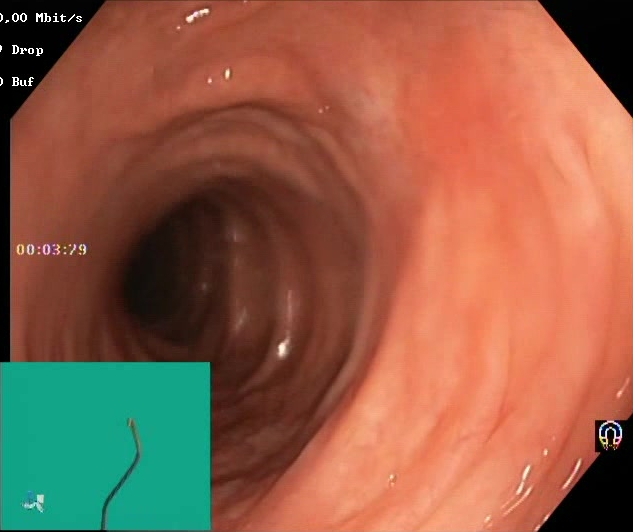This endoscopic image of the lower GI tract shows Boston Bowel Preparation Scale score 2–3 (adequate preparation).